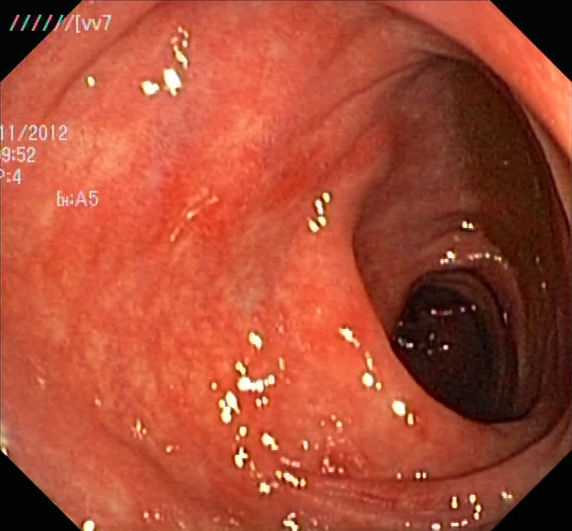Colonoscopy — ulcerative colitis, Mayo endoscopic subscore 1.